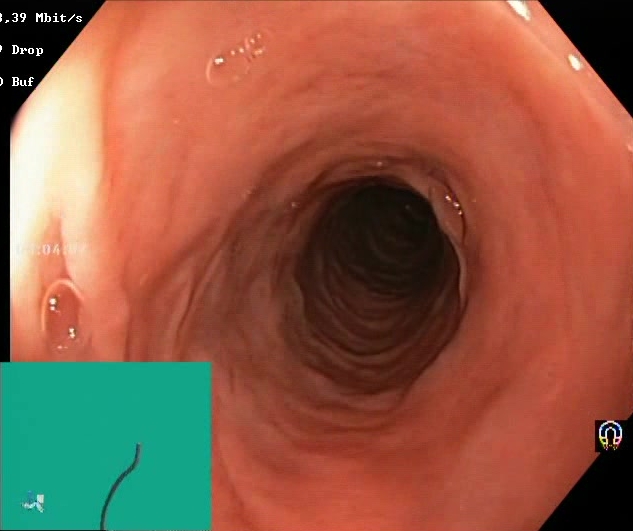modality: lower gastrointestinal endoscopy; tract: lower GI tract; category: mucosal-view quality; finding: Boston Bowel Preparation Scale score 2–3 (adequate preparation)